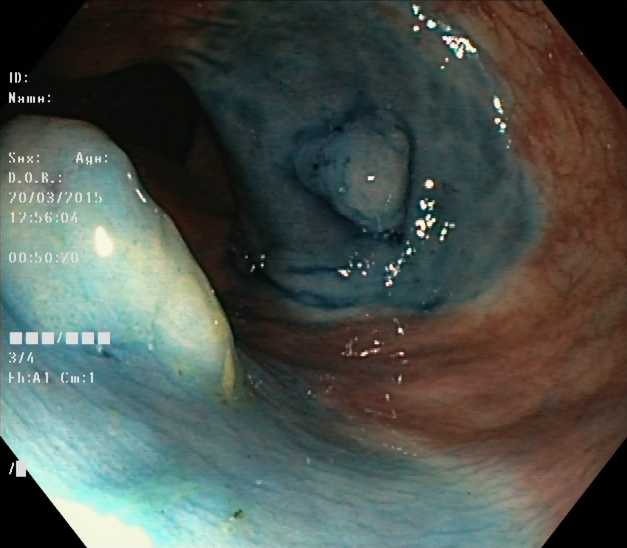Colonoscopy — dyed and lifted polyp (pre-resection).